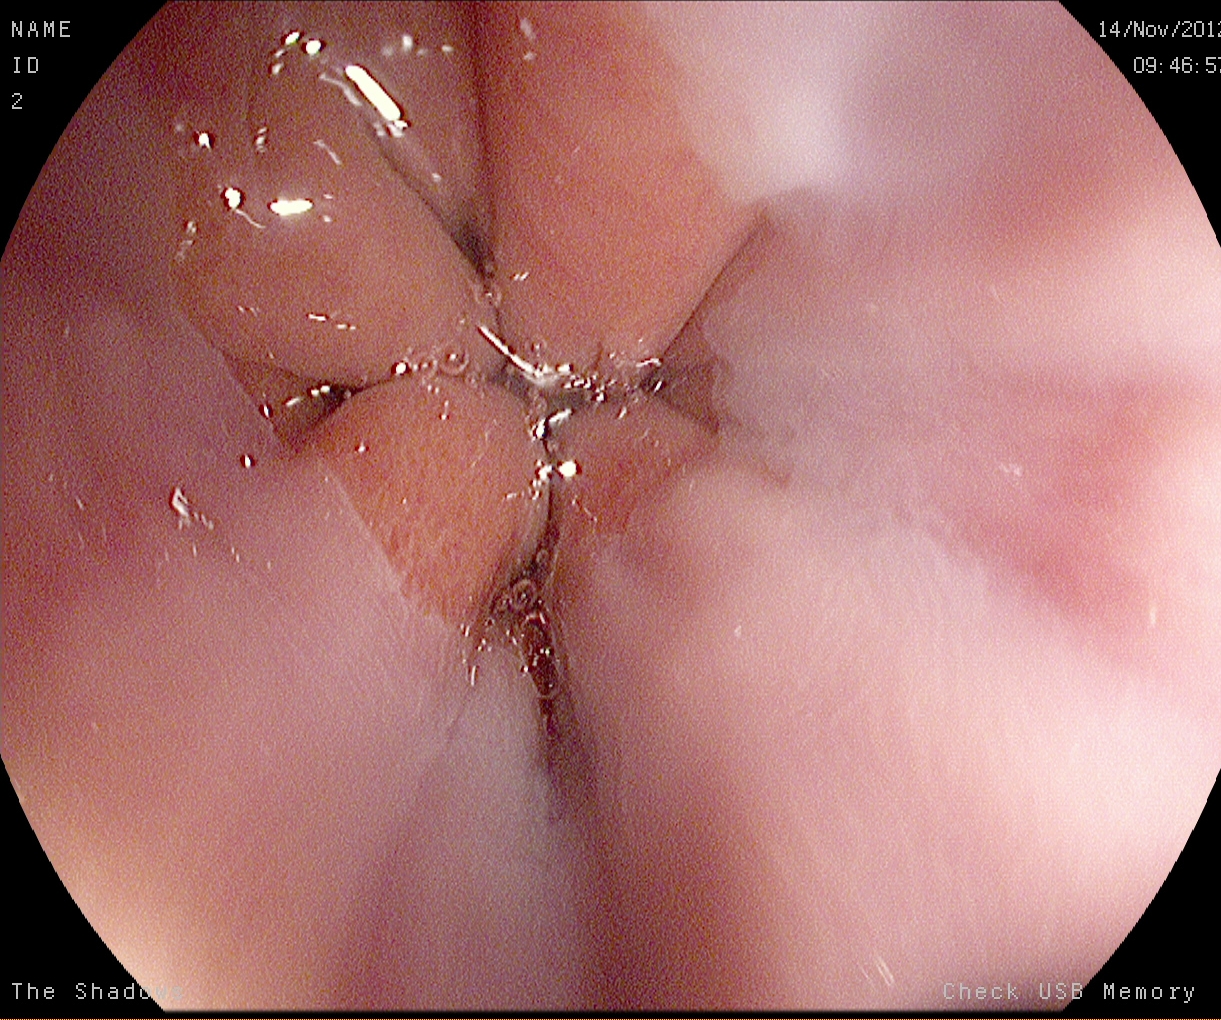EGD — Z-line (gastroesophageal junction).